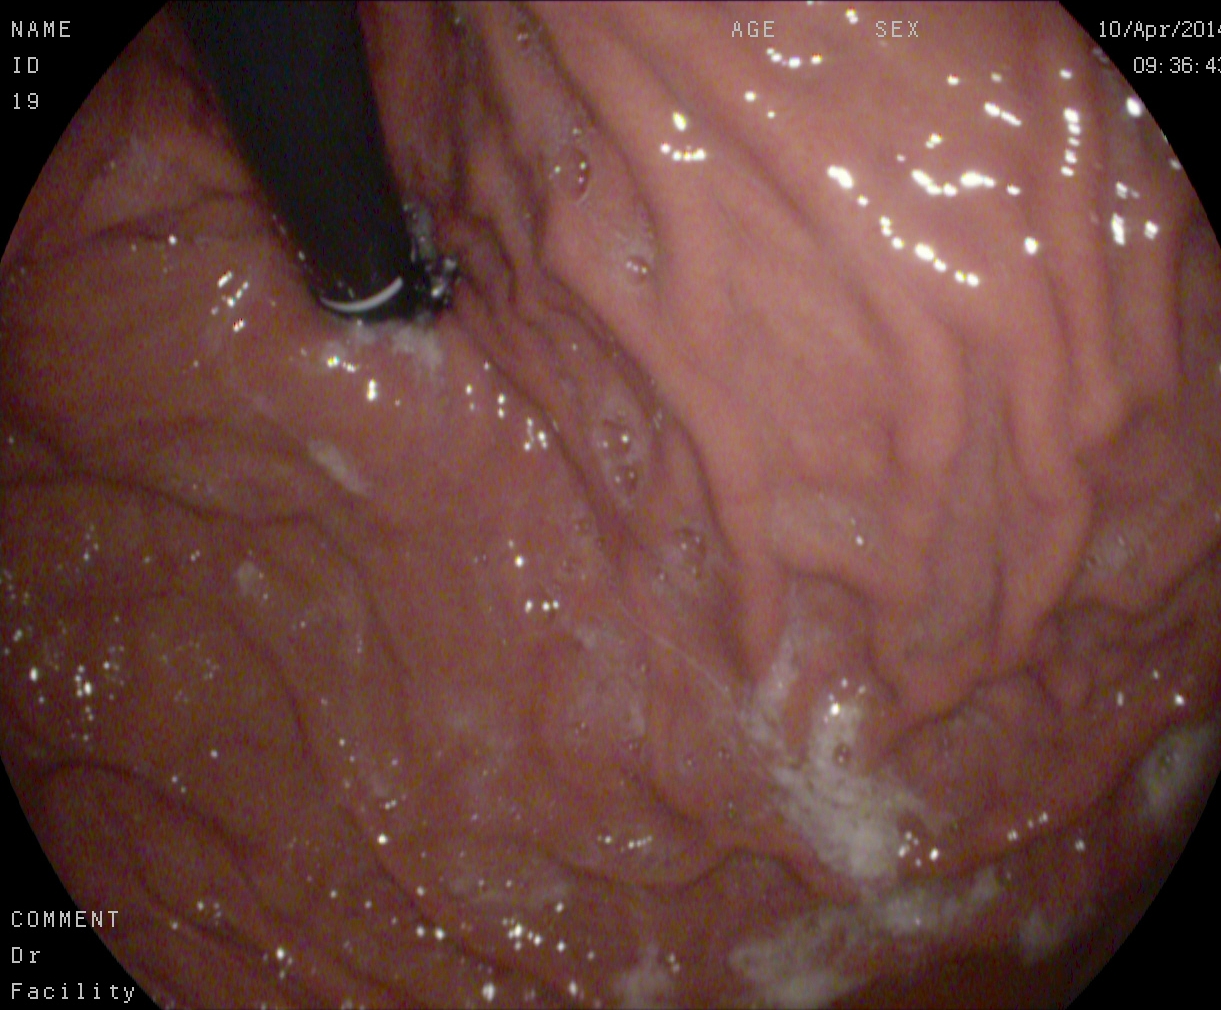Esophagogastroduodenoscopy — stomach in retroflexion.